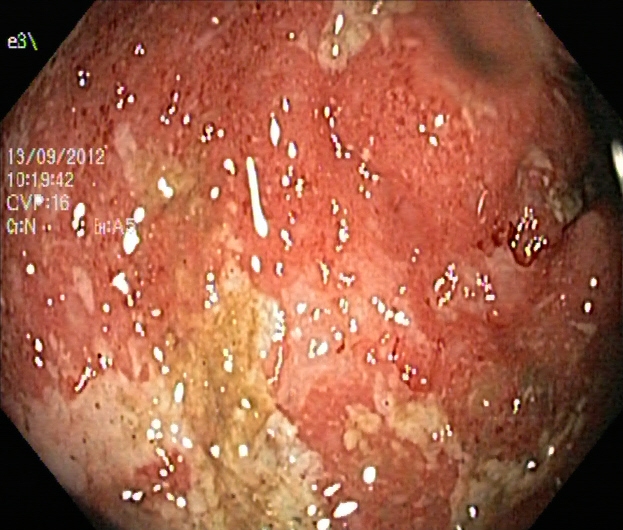PROCEDURE: Lower gastrointestinal endoscopy.
FINDINGS: UC, Mayo endoscopic subscore 2.